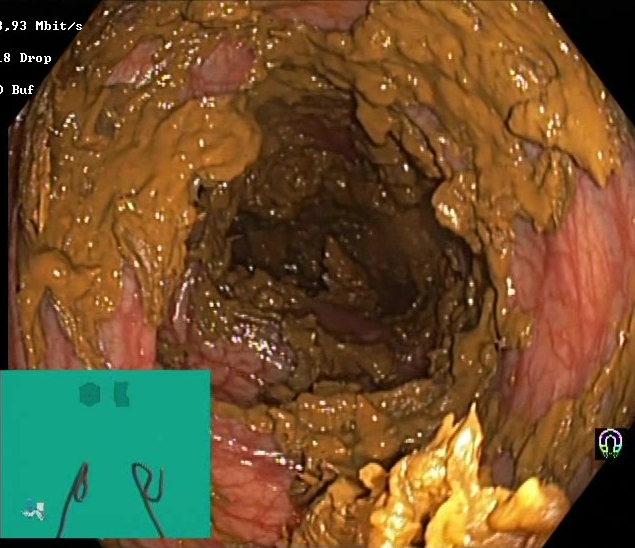Lower gastrointestinal endoscopy. Mucosal-view quality. Finding: BBPS score 0–1 (inadequate preparation).